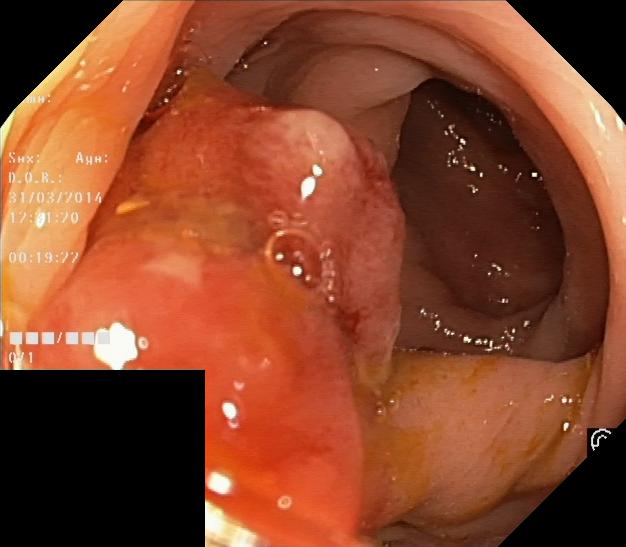modality: colonoscopy
tract: lower GI tract
finding: colorectal polyp(s)